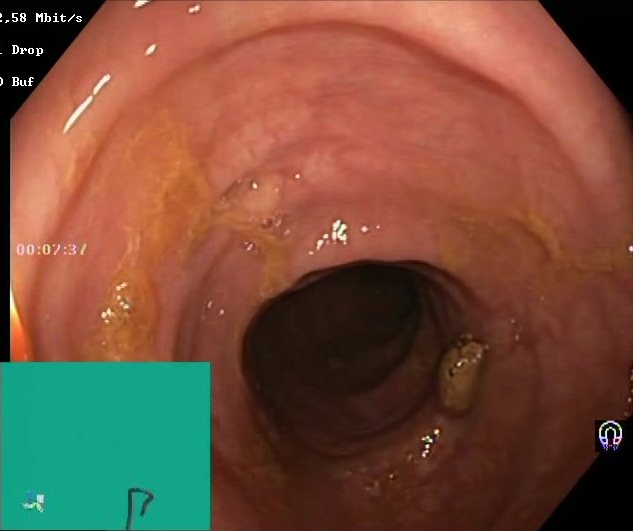Colonoscopy — Boston Bowel Preparation Scale score 2–3 (adequate preparation).